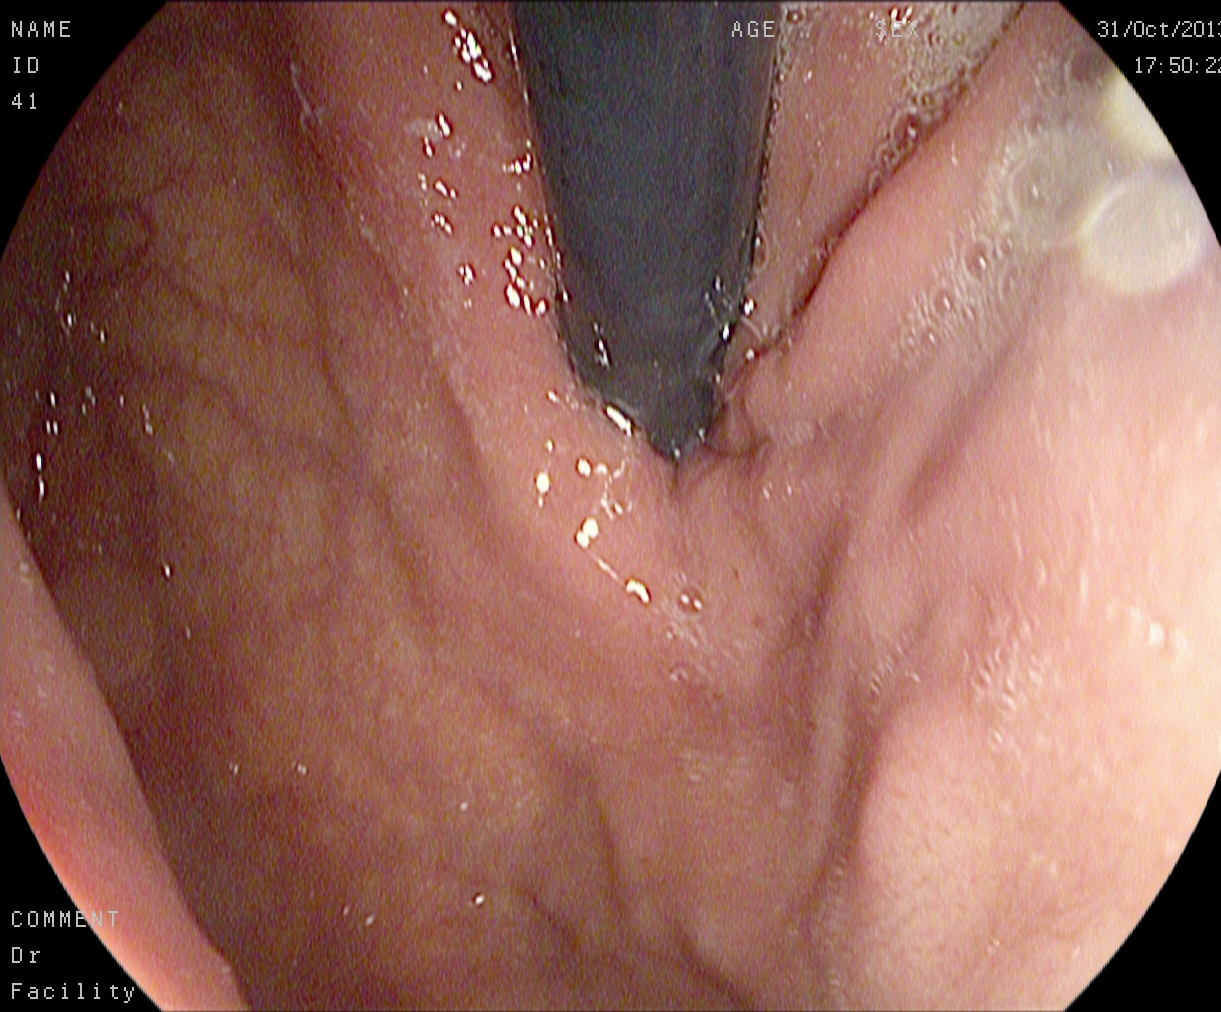Stomach in retroflexion.